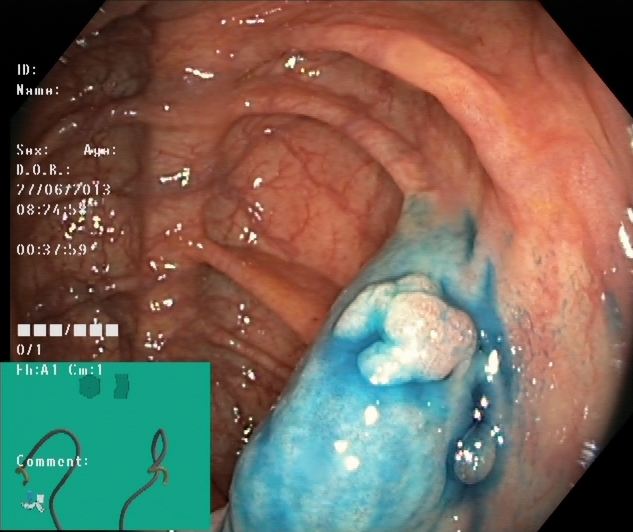{"modality": "colonoscopy", "finding": "dyed and lifted polyp (pre-resection)"}